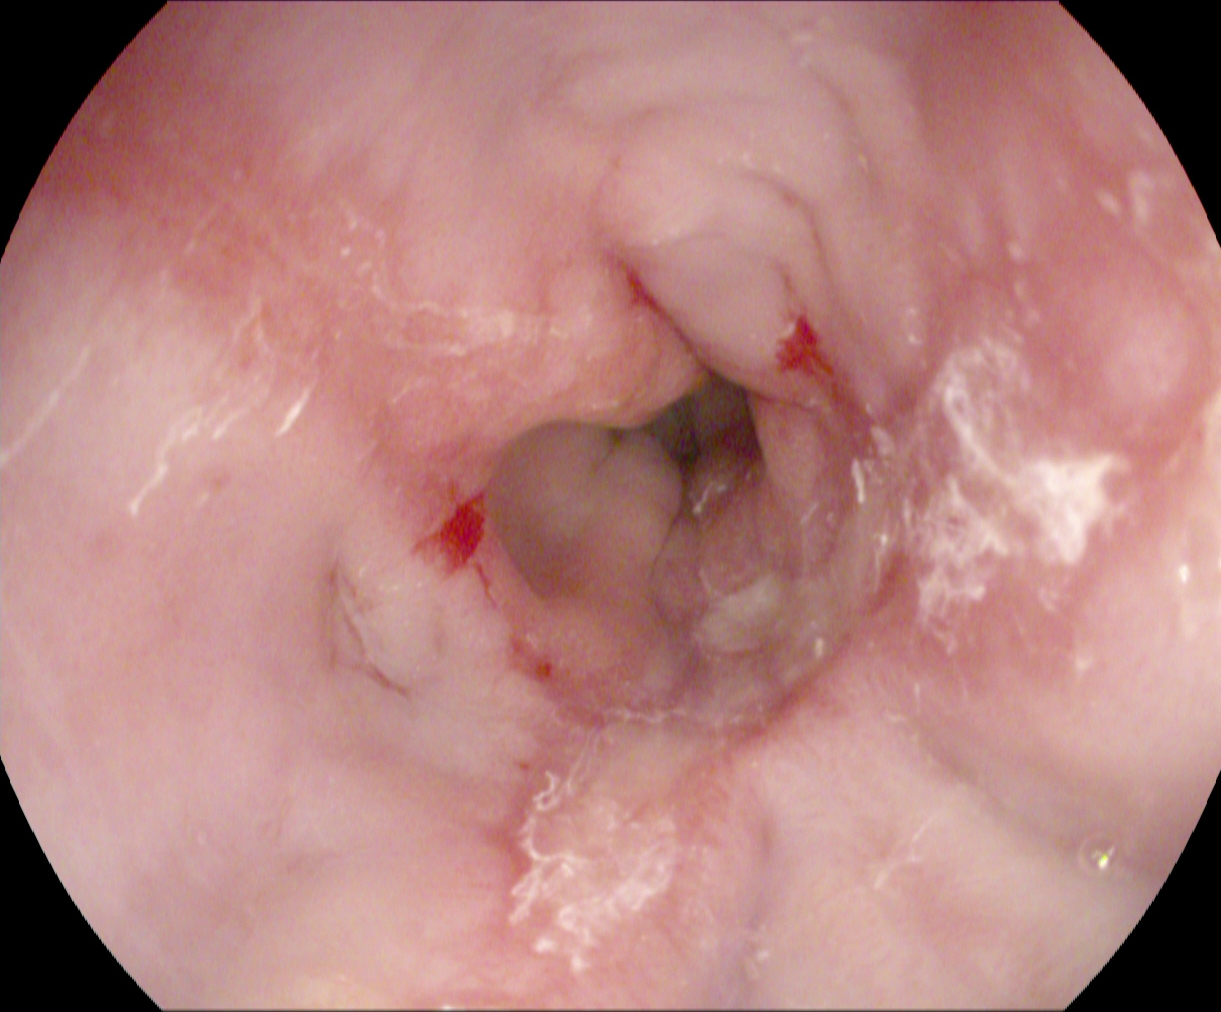{"modality": "EGD", "finding": "reflux esophagitis, Los Angeles grade B\u2013D"}